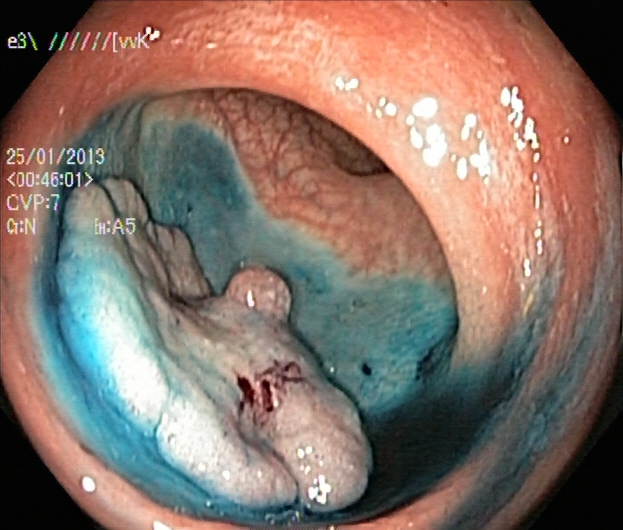Dyed and lifted polyp (pre-resection).